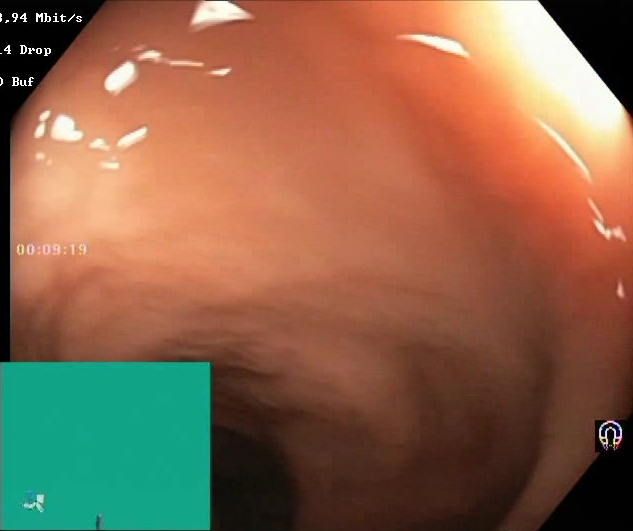Endoscopic image of the lower GI tract showing Boston Bowel Preparation Scale score 2–3 (adequate preparation).